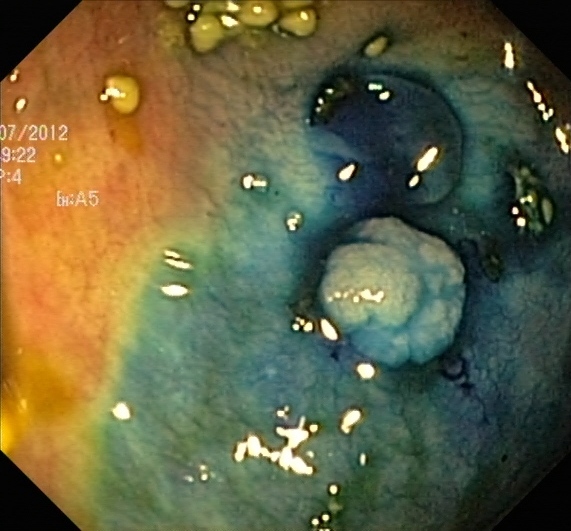Endoscopic image showing dyed and lifted polyp (pre-resection).